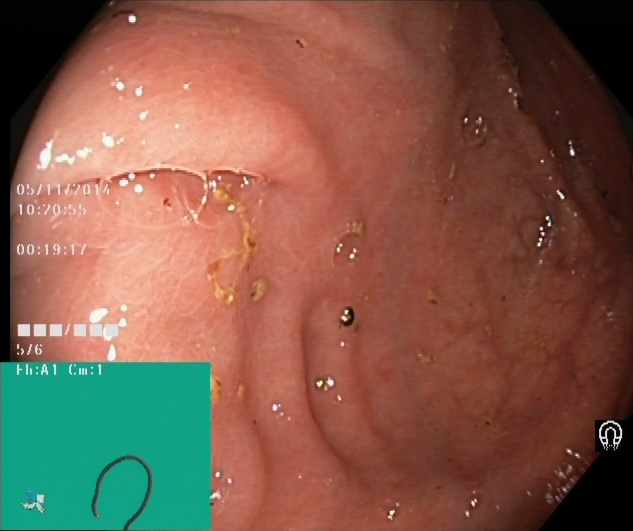Lower gastrointestinal endoscopy — cecum.